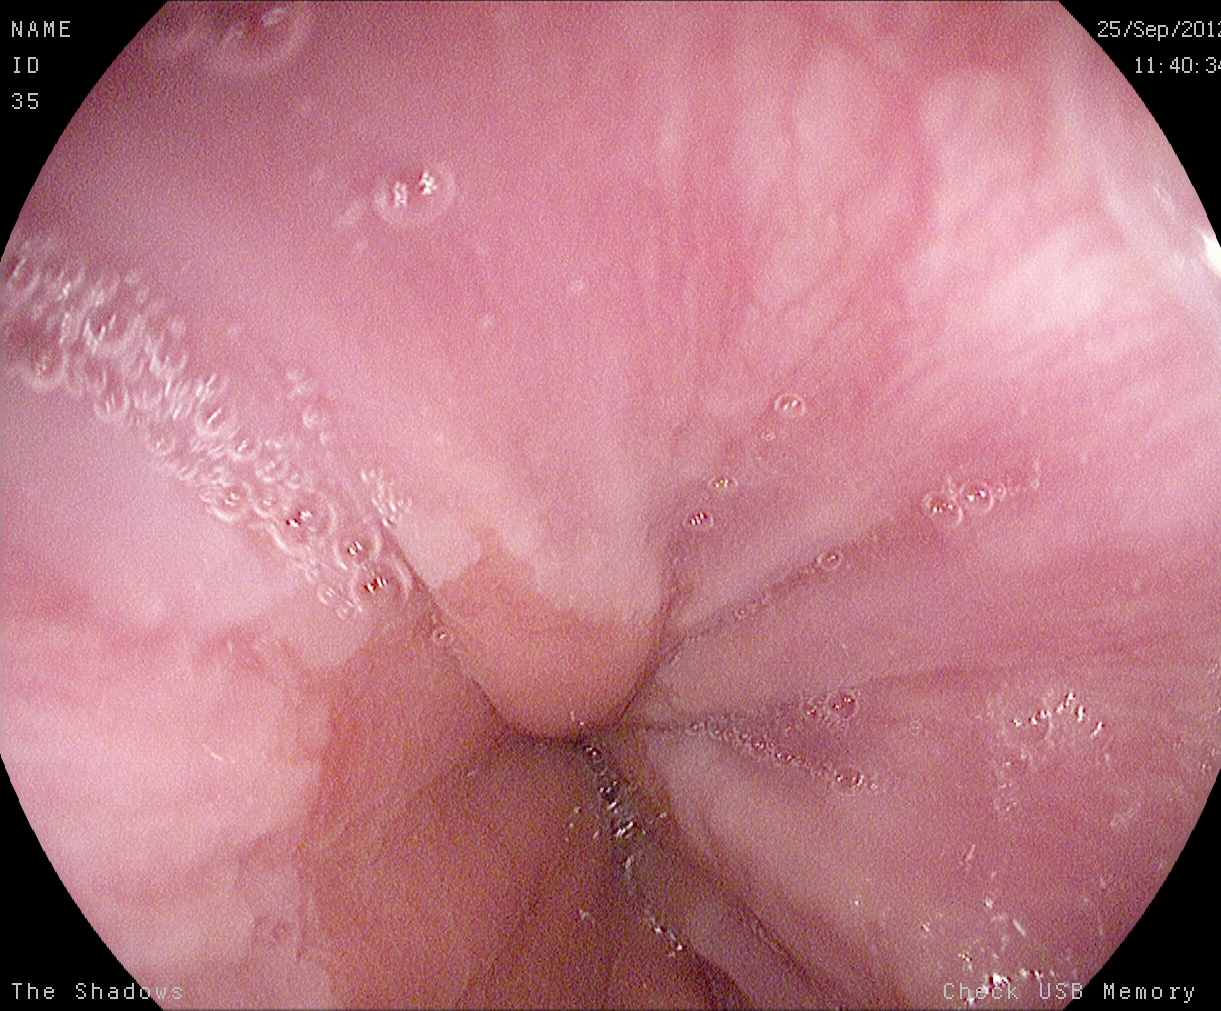Upper-GI endoscopy. Tract: upper GI tract. Anatomical landmark. Finding: Z-line (gastroesophageal junction).